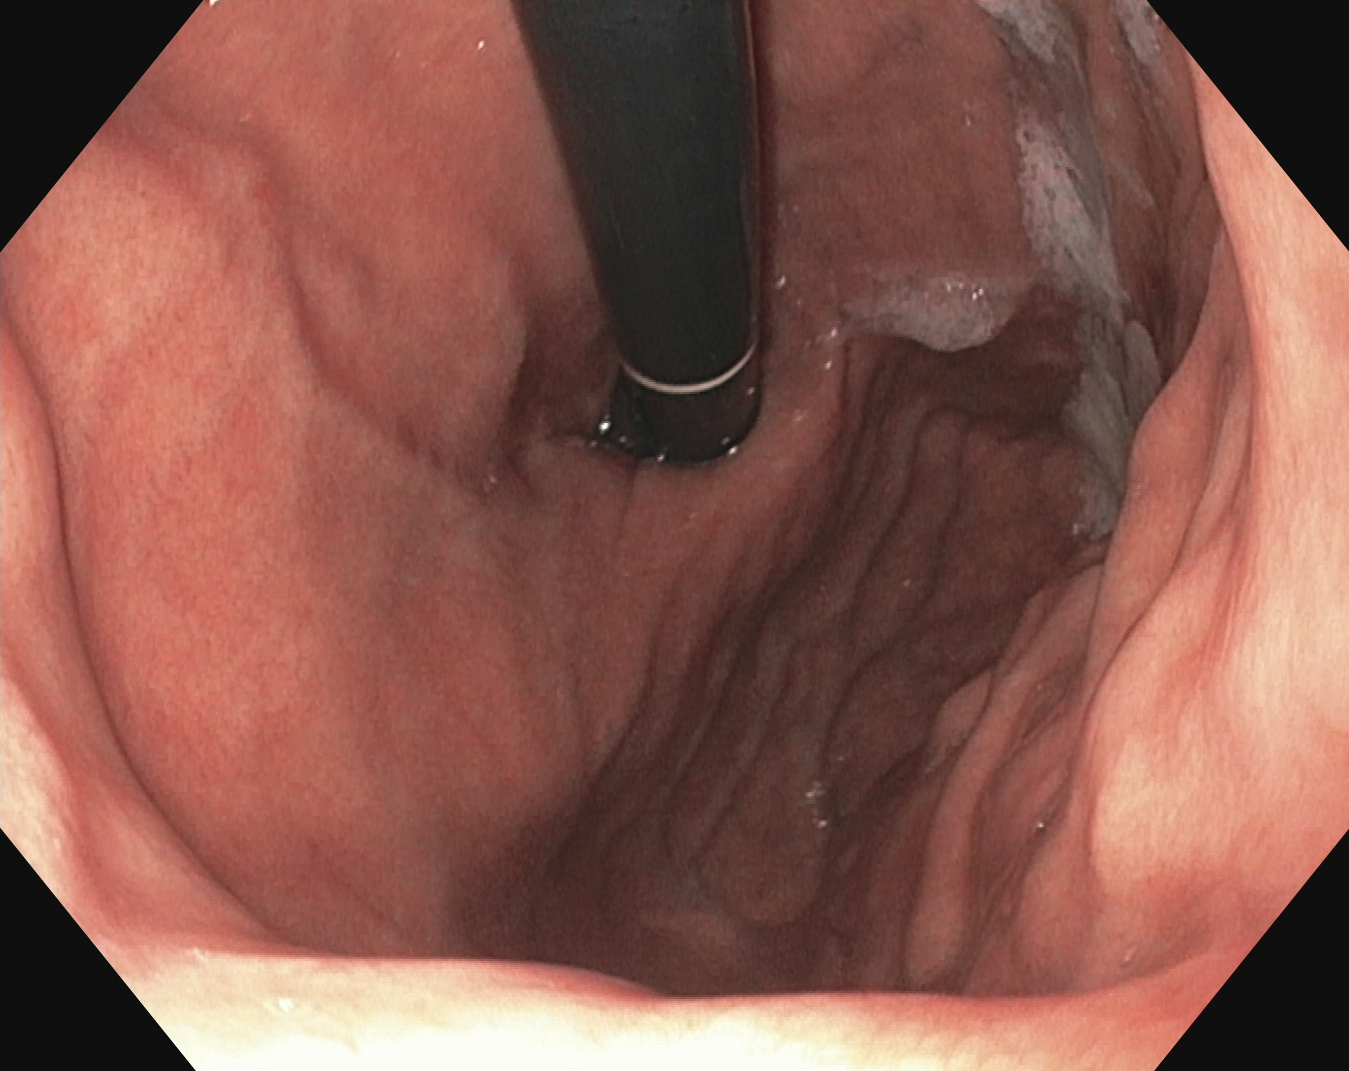This endoscopic image shows stomach in retroflexion.